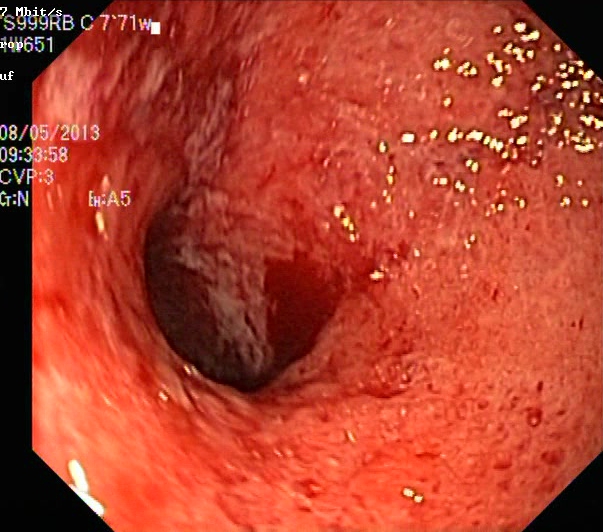PROCEDURE: Colonoscopy.
FINDINGS: Ulcerative colitis, Mayo endoscopic subscore 3.